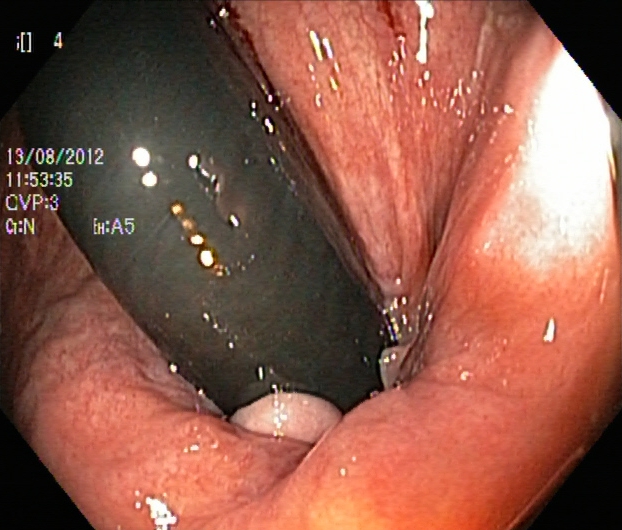Lower gastrointestinal endoscopy. Finding: rectum in retroflexion.